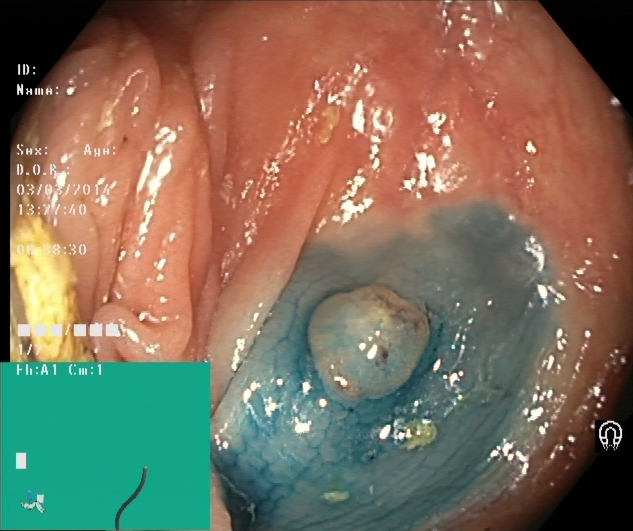Lower-GI endoscopy. Finding: dyed and lifted polyp (pre-resection).